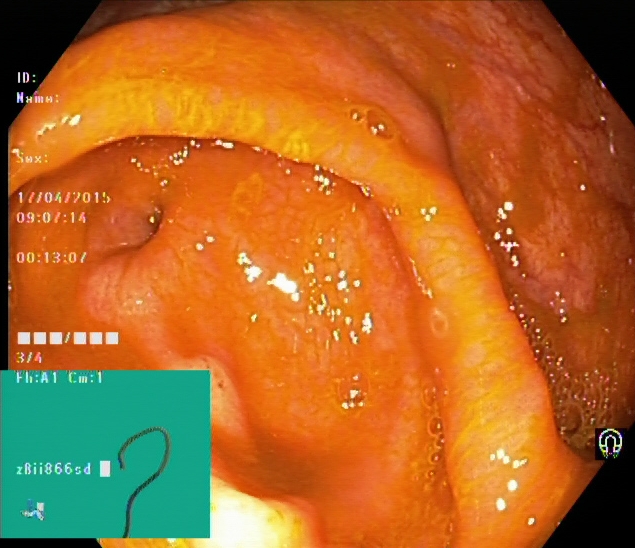Cecum.